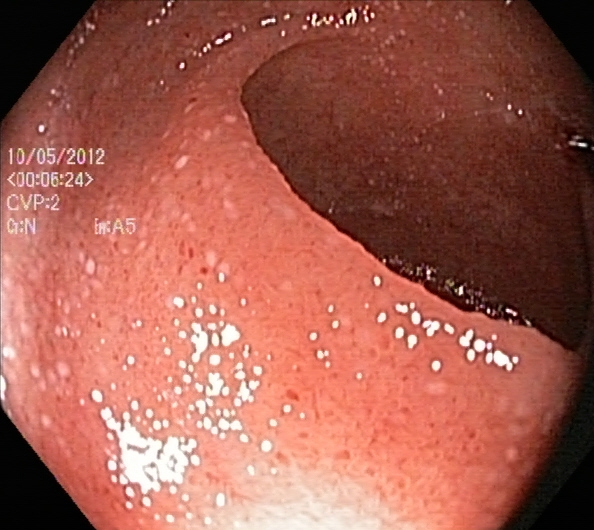PROCEDURE: Lower gastrointestinal endoscopy.
FINDINGS: Ulcerative colitis, Mayo endoscopic subscore 2.